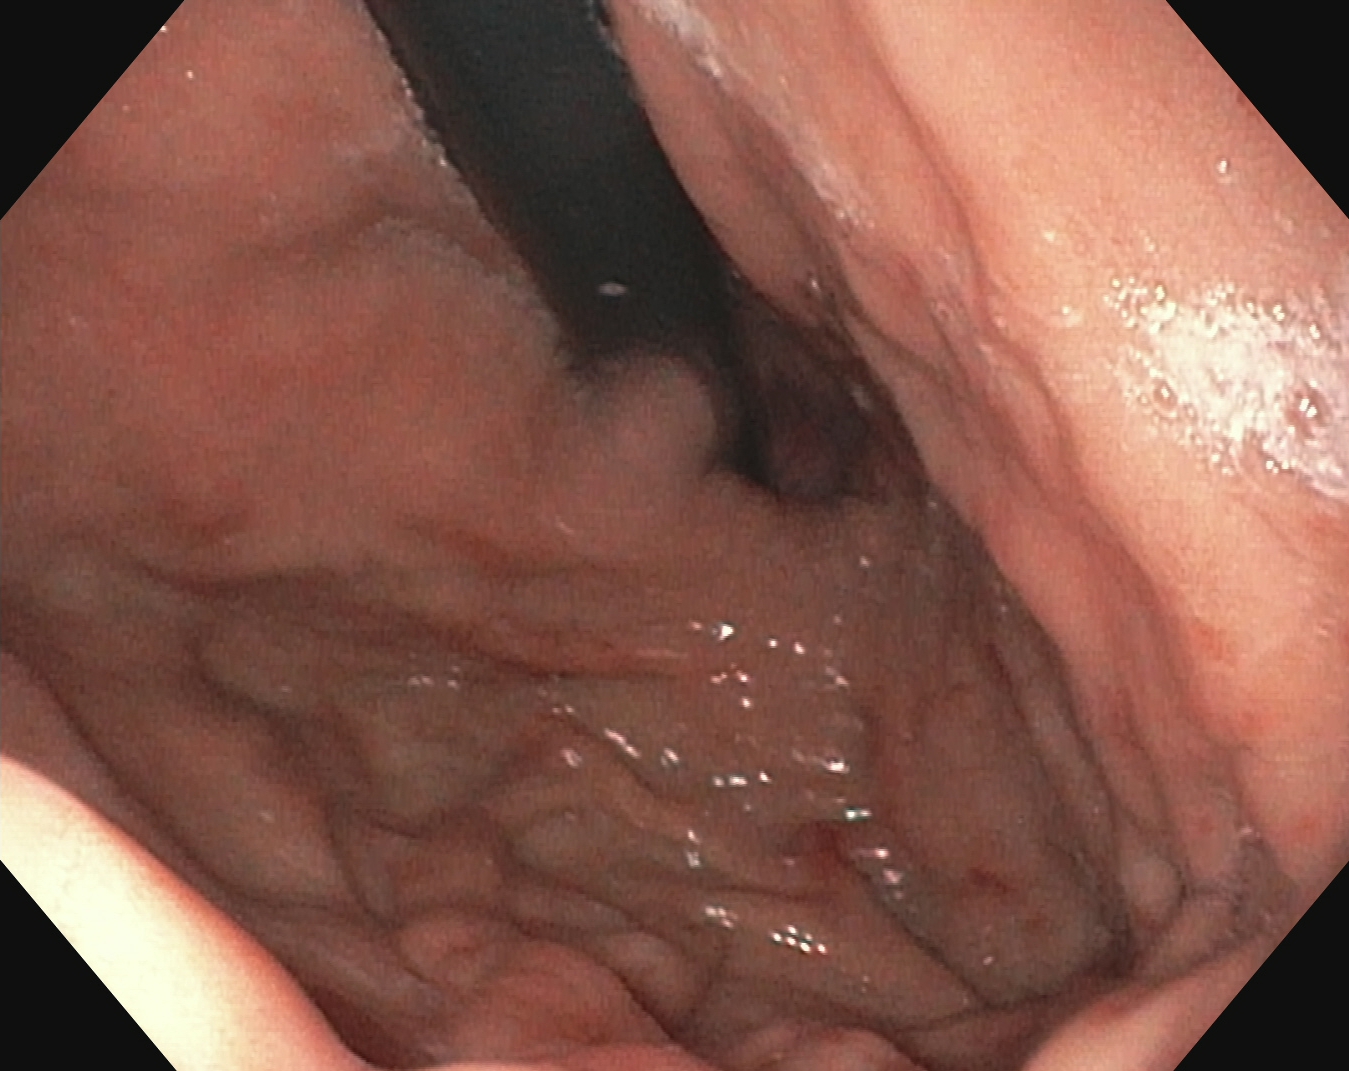EGD image showing stomach in retroflexion.